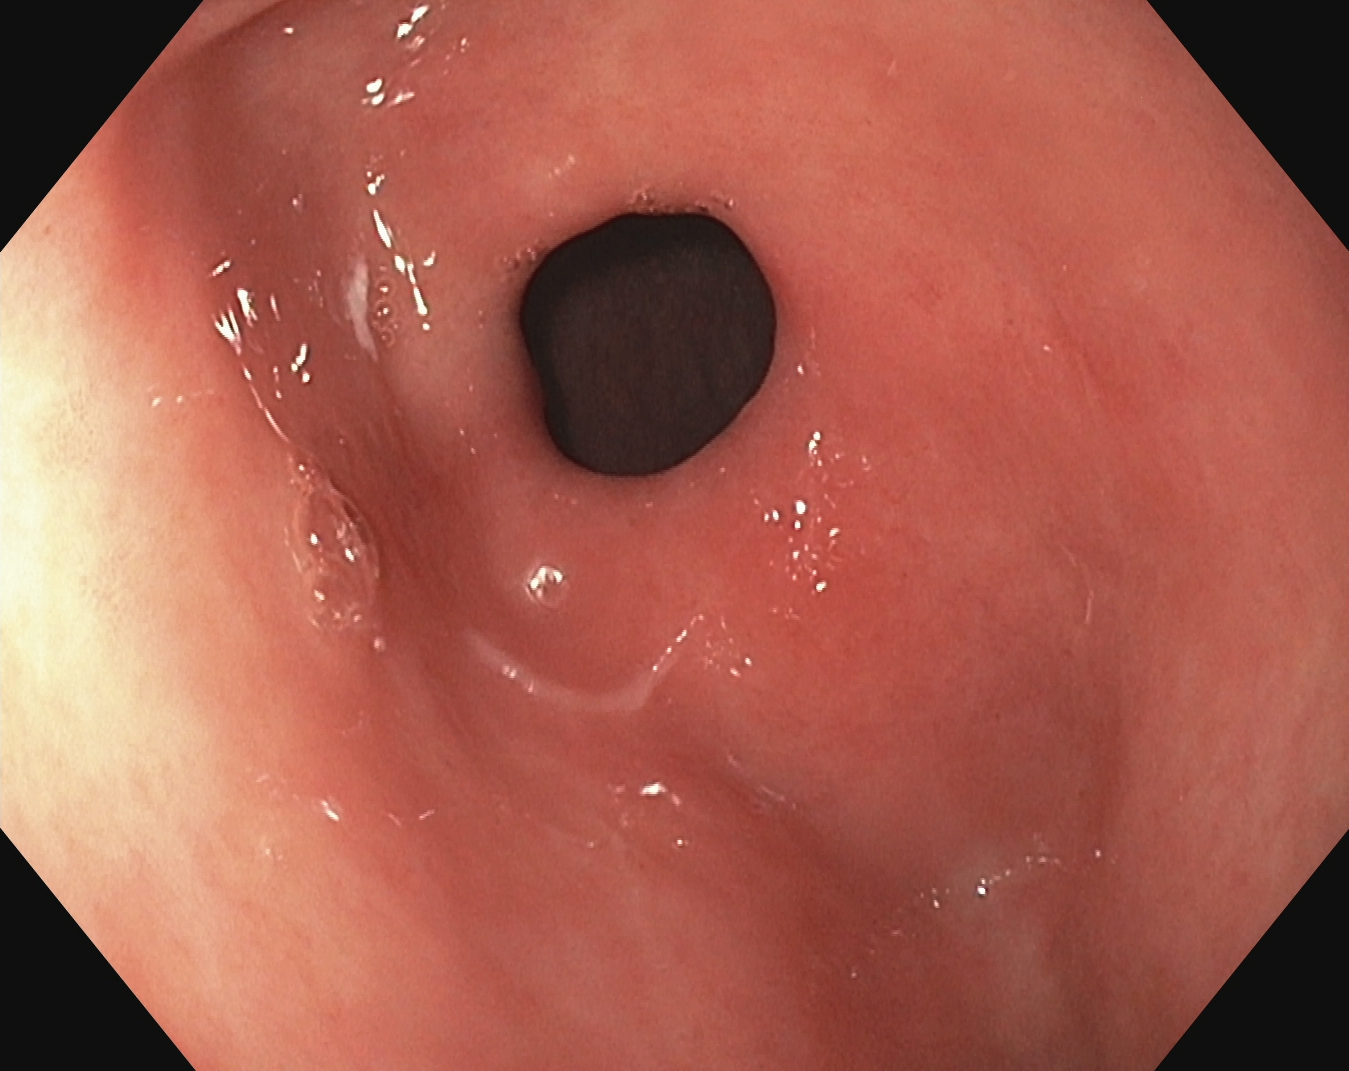Pylorus.